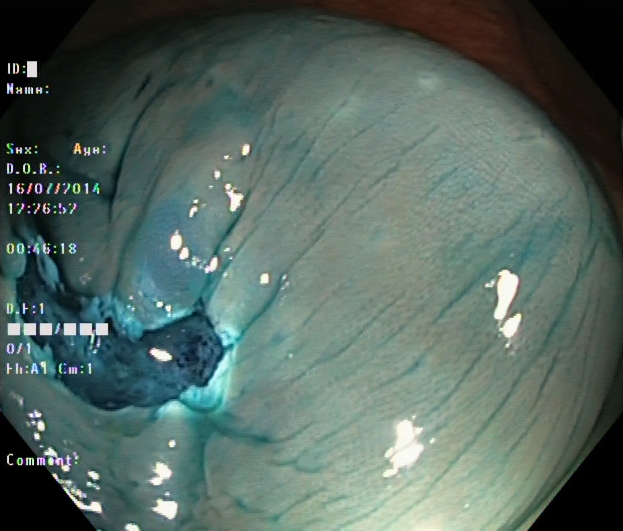Lower-GI endoscopy image of the lower GI tract showing dyed resection margins (post-polypectomy).